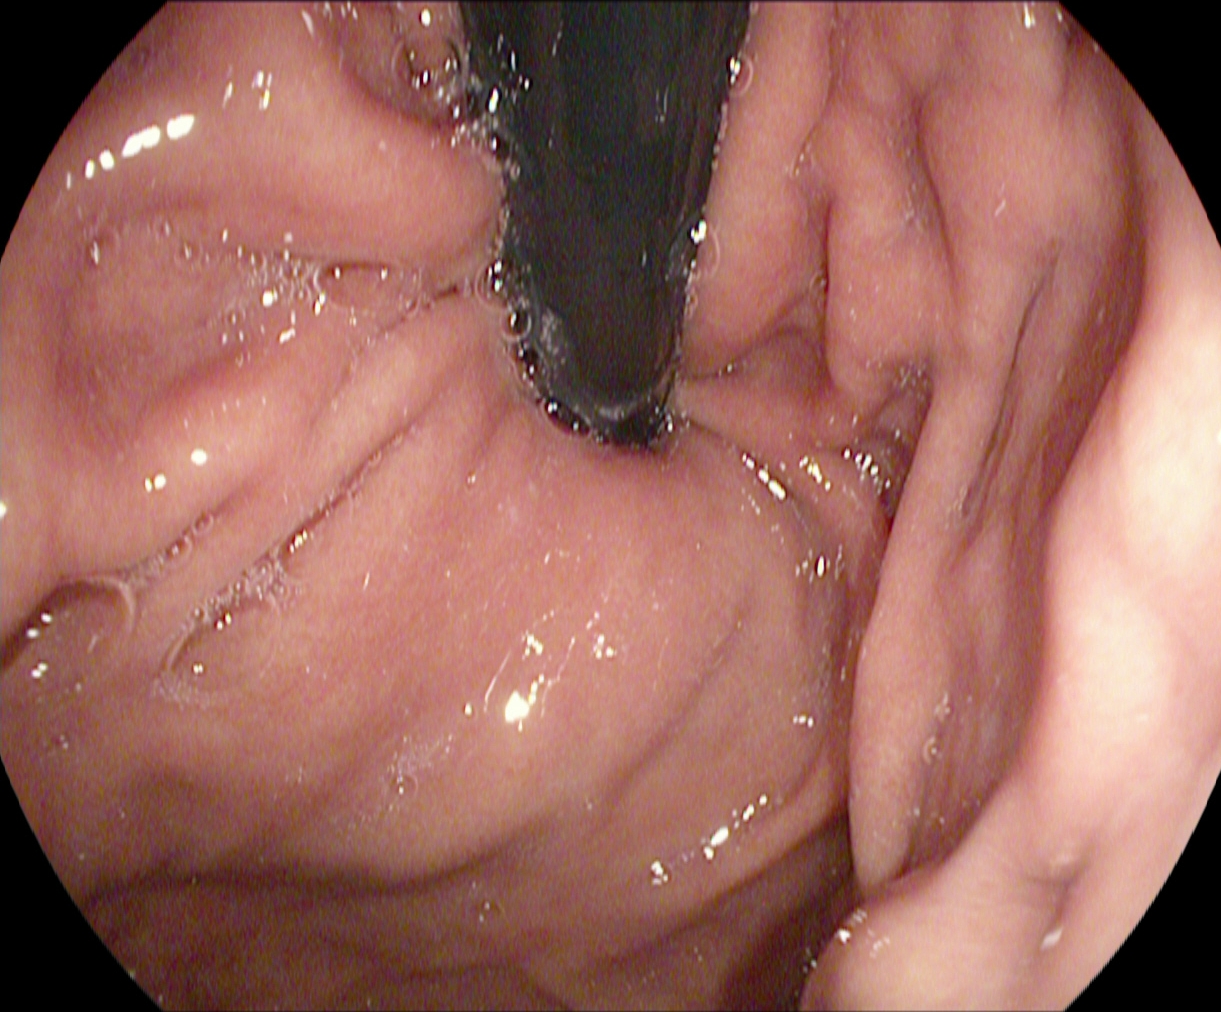{"modality": "EGD", "finding": "stomach in retroflexion"}